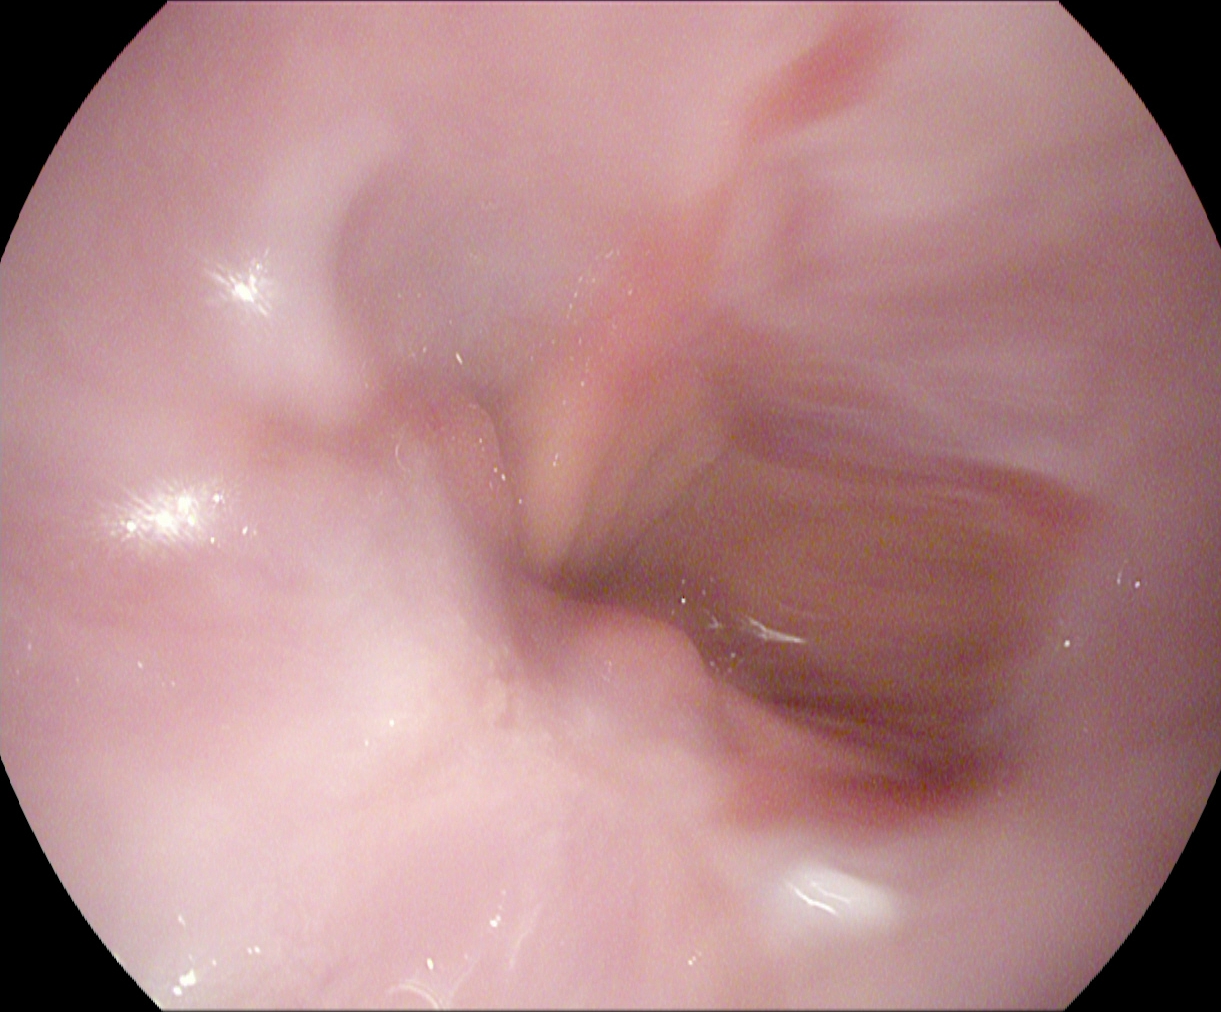Upper-GI endoscopy. Finding: reflux esophagitis, LA grade A.